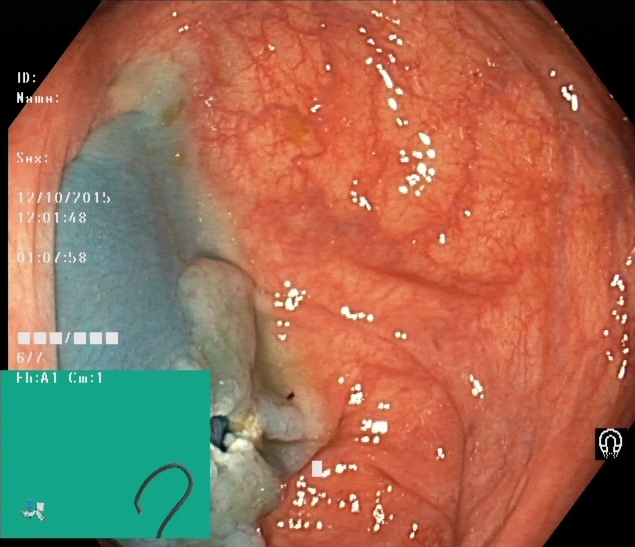This endoscopy frame shows dyed resection margins (post-polypectomy).